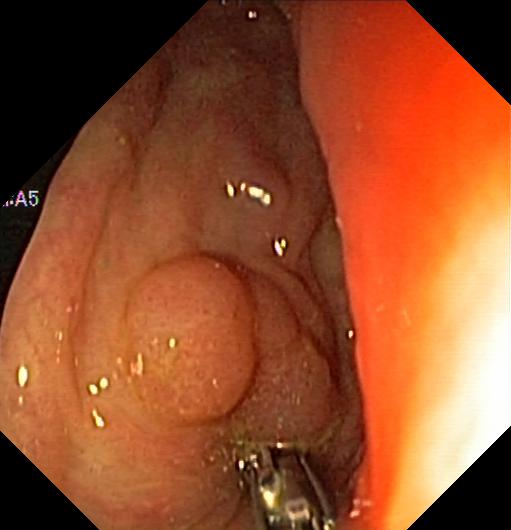PROCEDURE: Lower-GI endoscopy.
FINDINGS: Colorectal polyp(s).